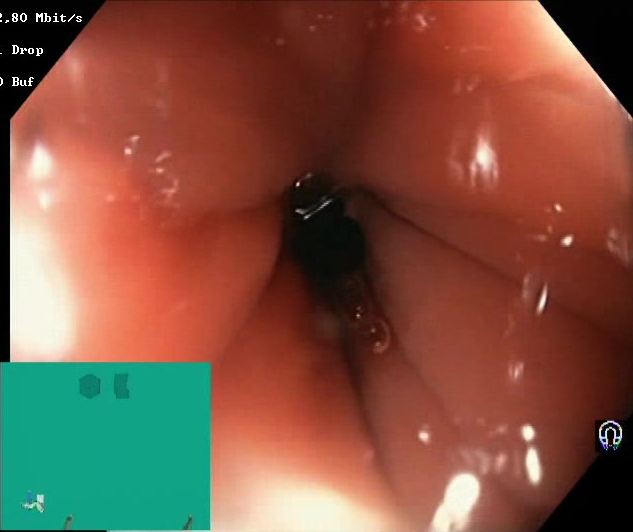modality: colonoscopy; tract: lower GI tract; finding: Boston Bowel Preparation Scale score 2–3 (adequate preparation)